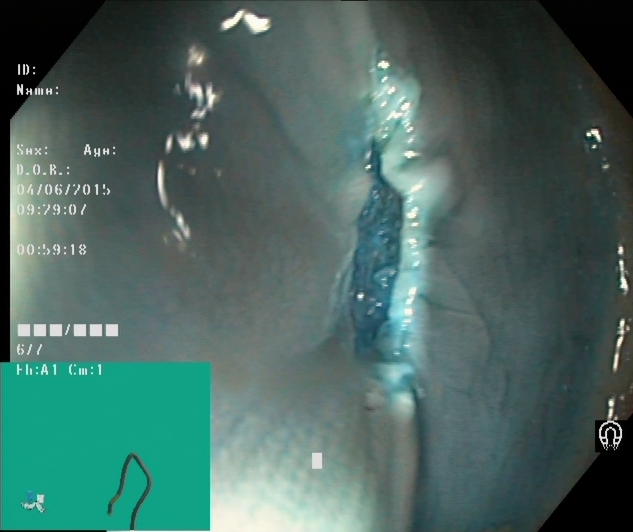GI endoscopy image of the lower GI tract showing dyed resection margins (post-polypectomy).